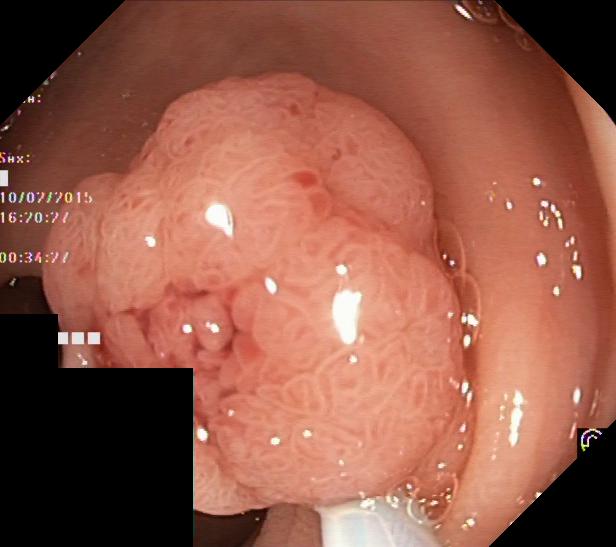Lower gastrointestinal endoscopy. Tract: lower GI tract. Pathological finding. Finding: colorectal polyp(s).